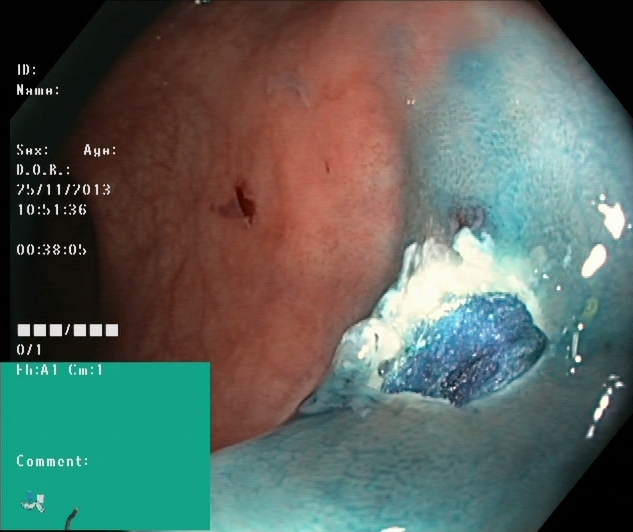This endoscopy frame of the lower GI tract shows dyed resection margins (post-polypectomy).